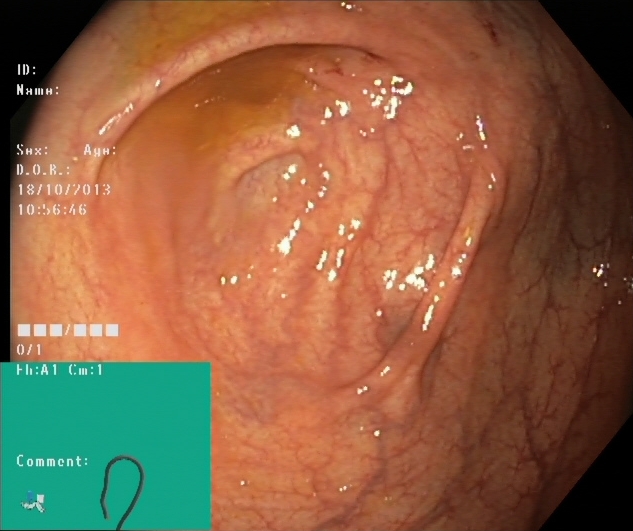Cecum.